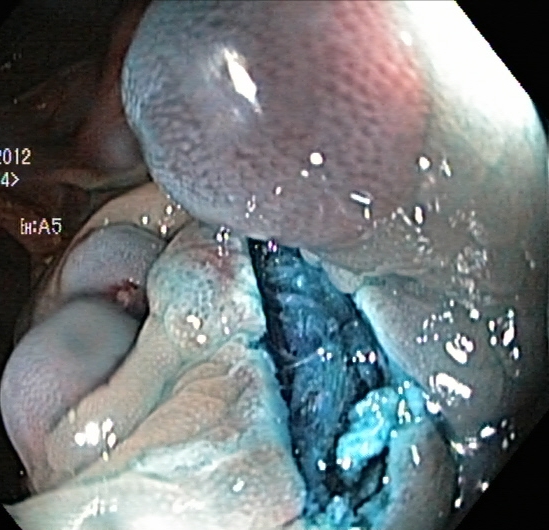Lower gastrointestinal endoscopy. Tract: lower GI tract. Finding: dyed resection margins (post-polypectomy).